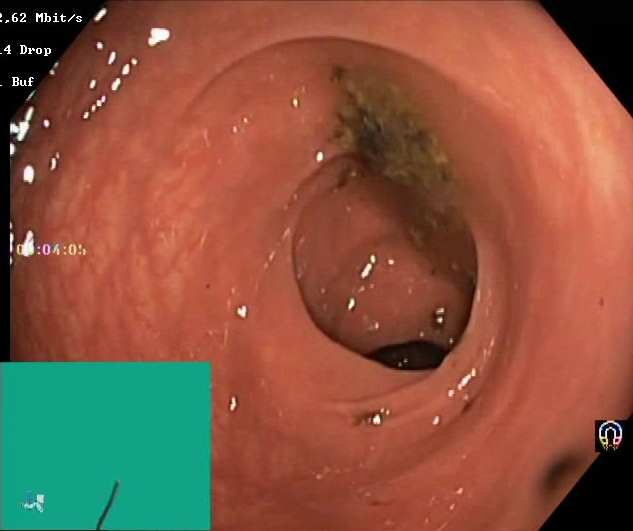Lower-GI endoscopy image showing BBPS score 0–1 (inadequate preparation).